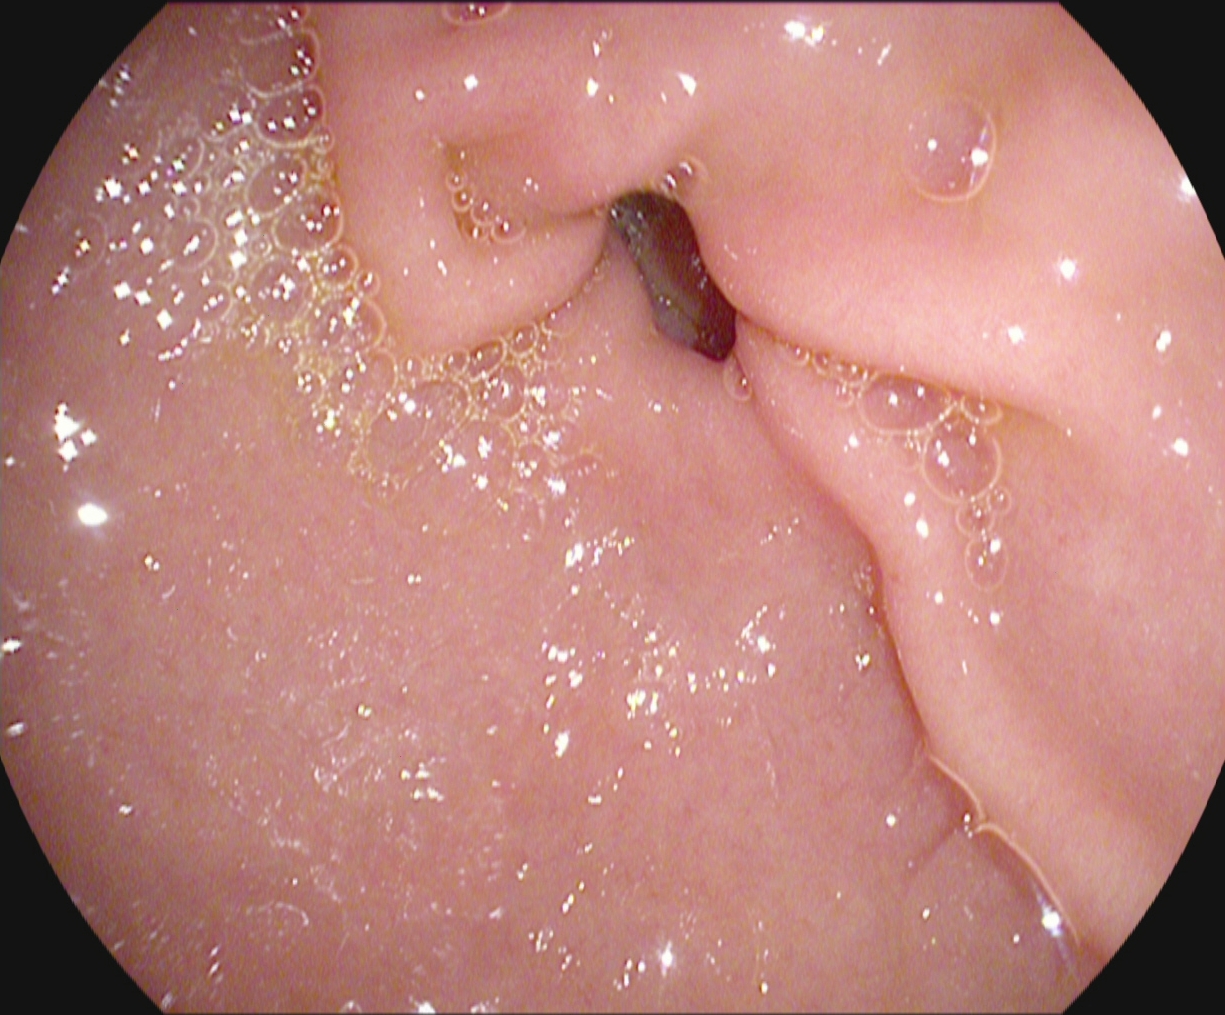Pylorus.